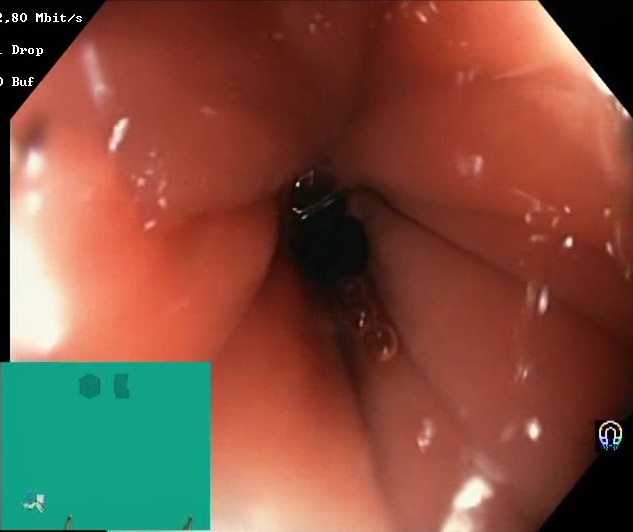{"modality": "lower gastrointestinal endoscopy", "tract": "lower GI tract", "category": "mucosal-view quality", "finding": "BBPS score 2\u20133 (adequate preparation)"}